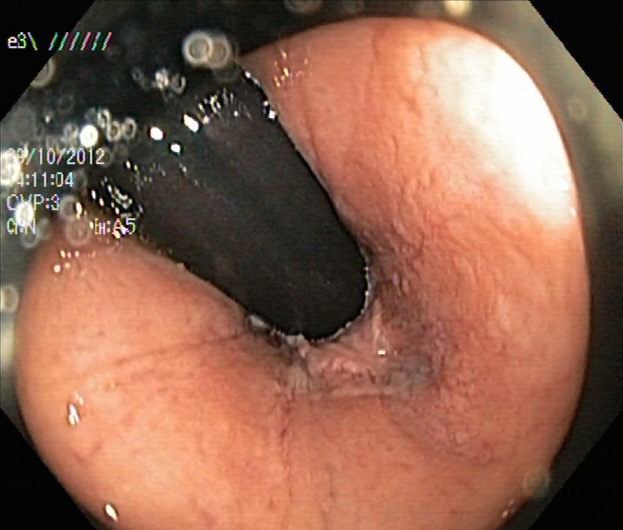Colonoscopy — rectum in retroflexion.